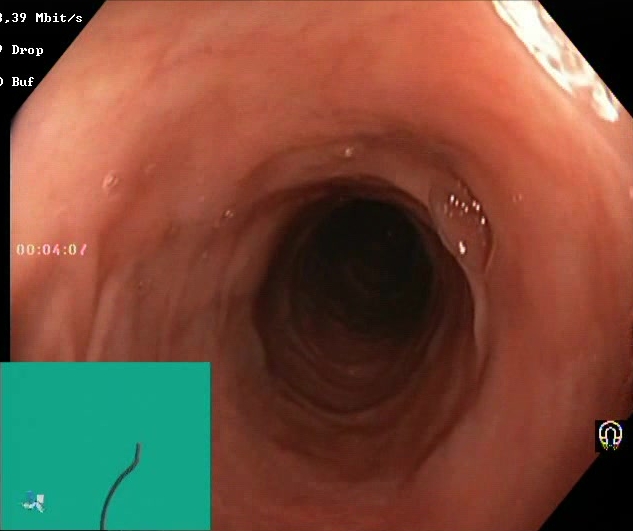This endoscopic image of the lower GI tract shows BBPS score 2–3 (adequate preparation).